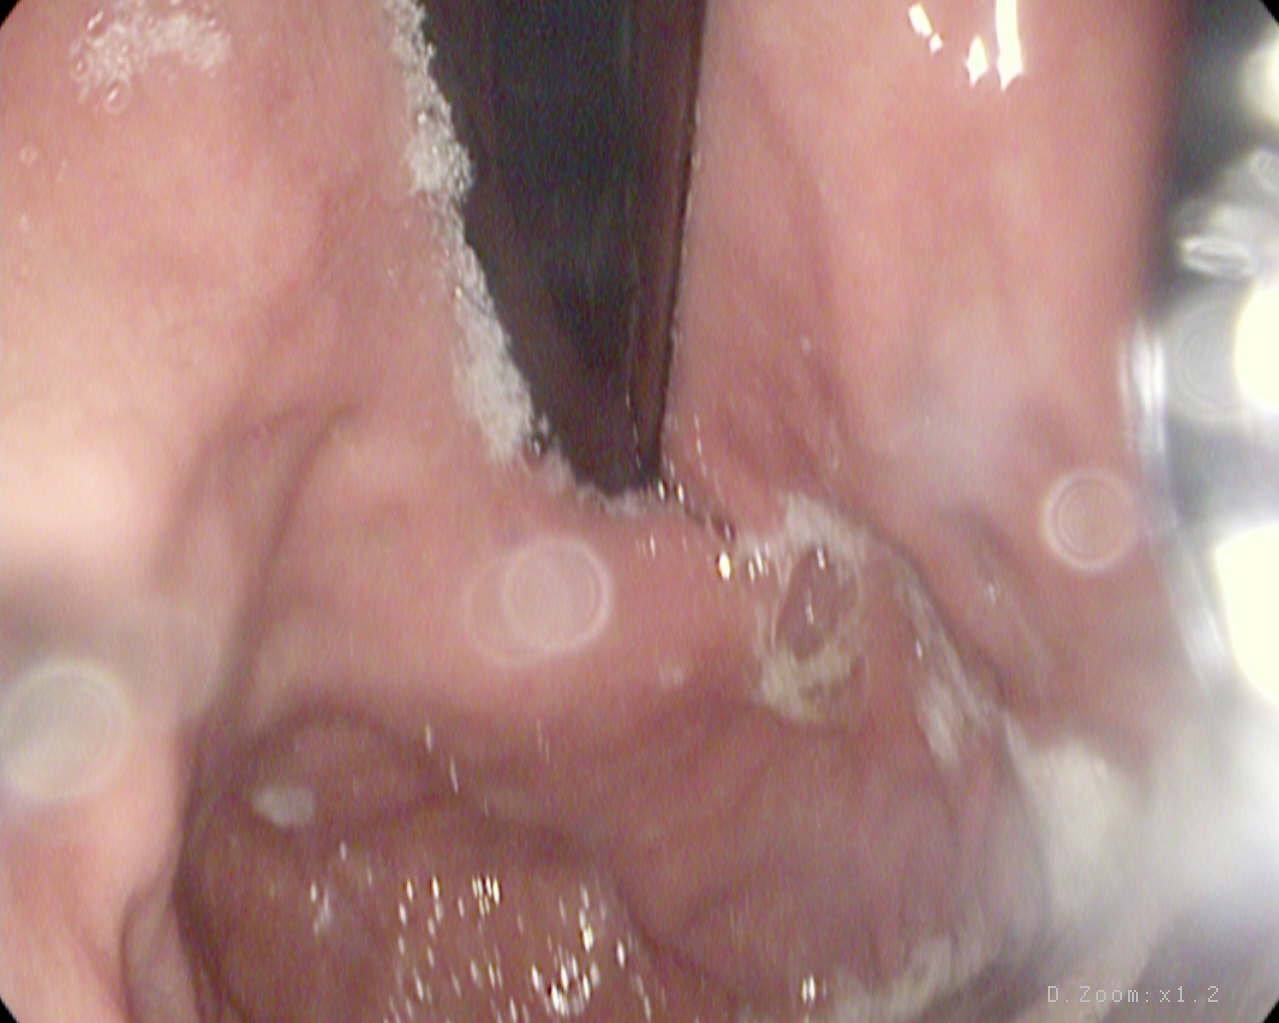This endoscopic image of the upper GI tract shows stomach in retroflexion.